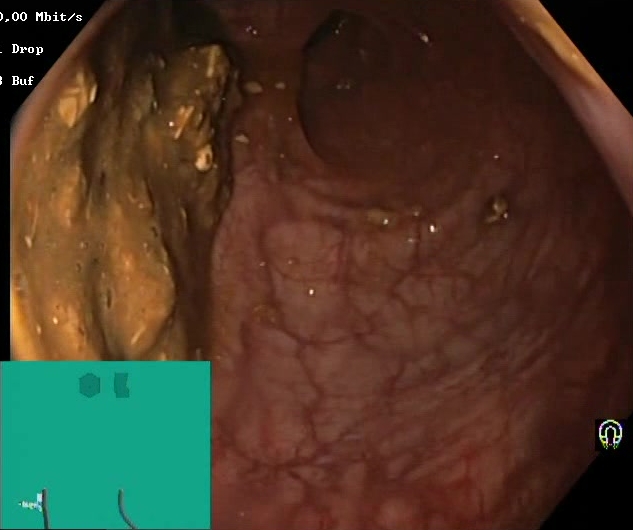Boston Bowel Preparation Scale score 0–1 (inadequate preparation).